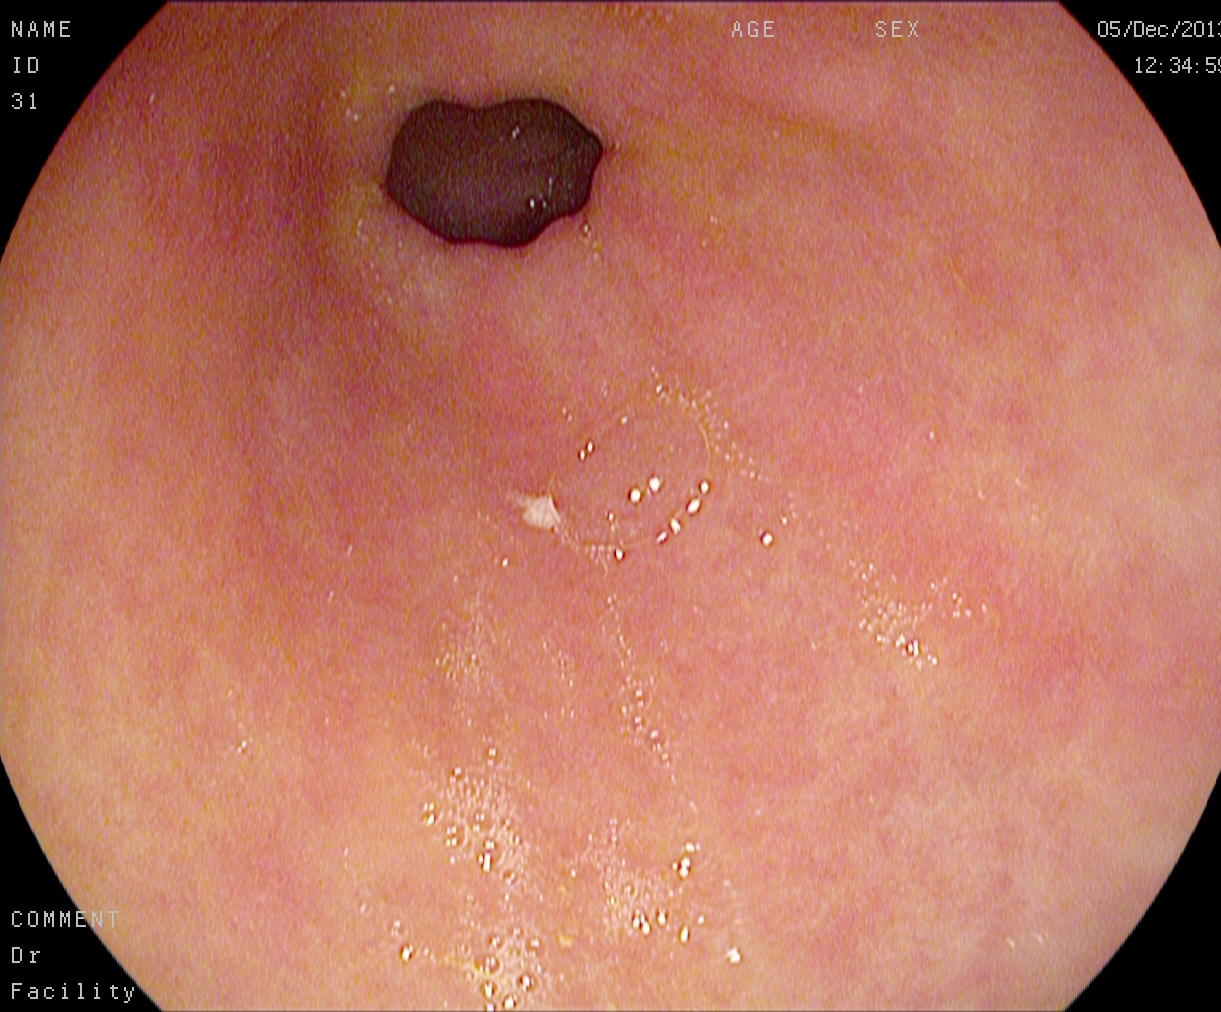Pylorus.